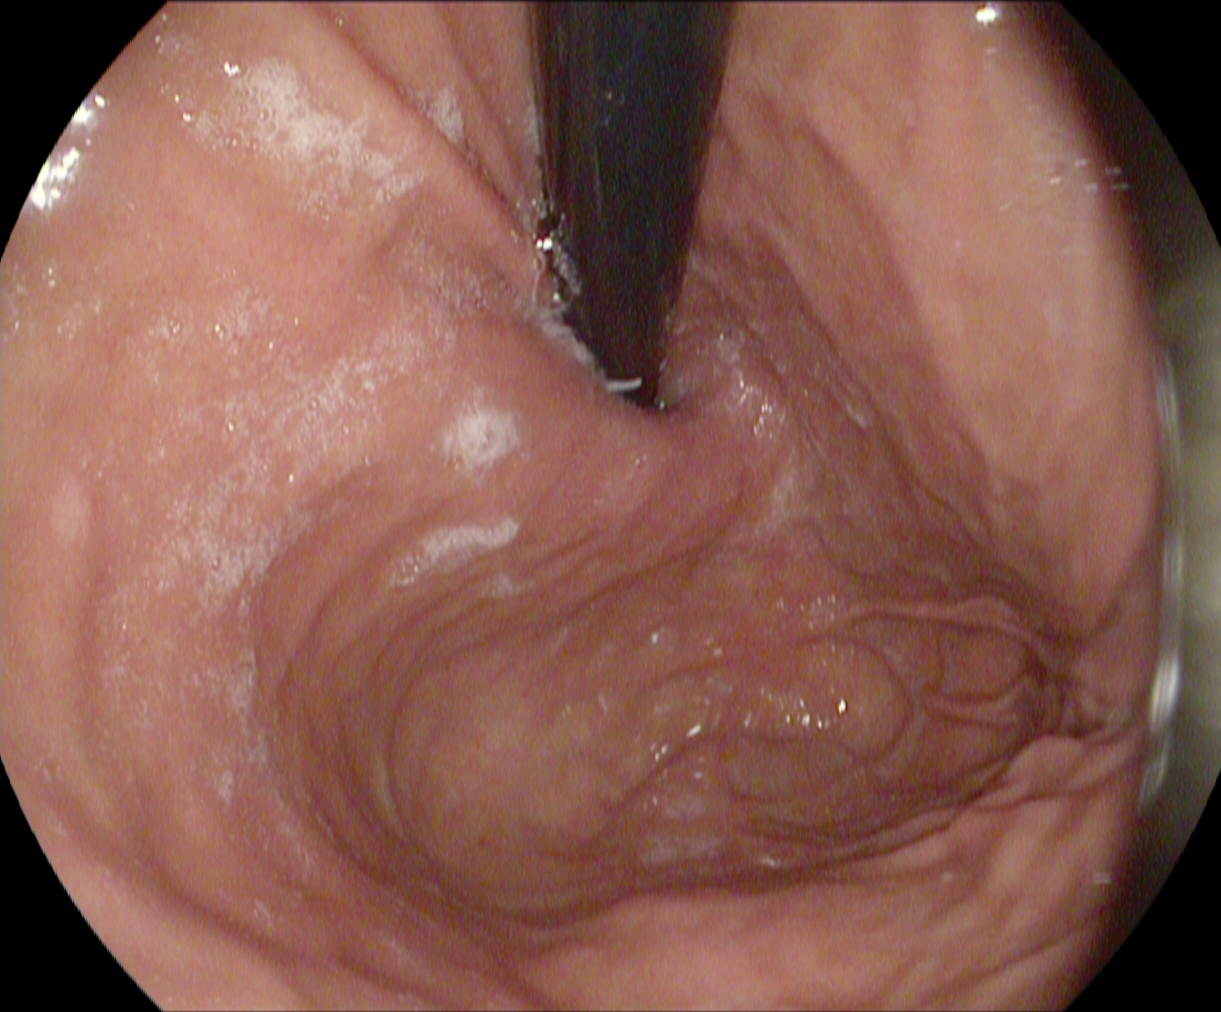{"modality": "EGD", "tract": "upper GI tract", "finding": "stomach in retroflexion"}